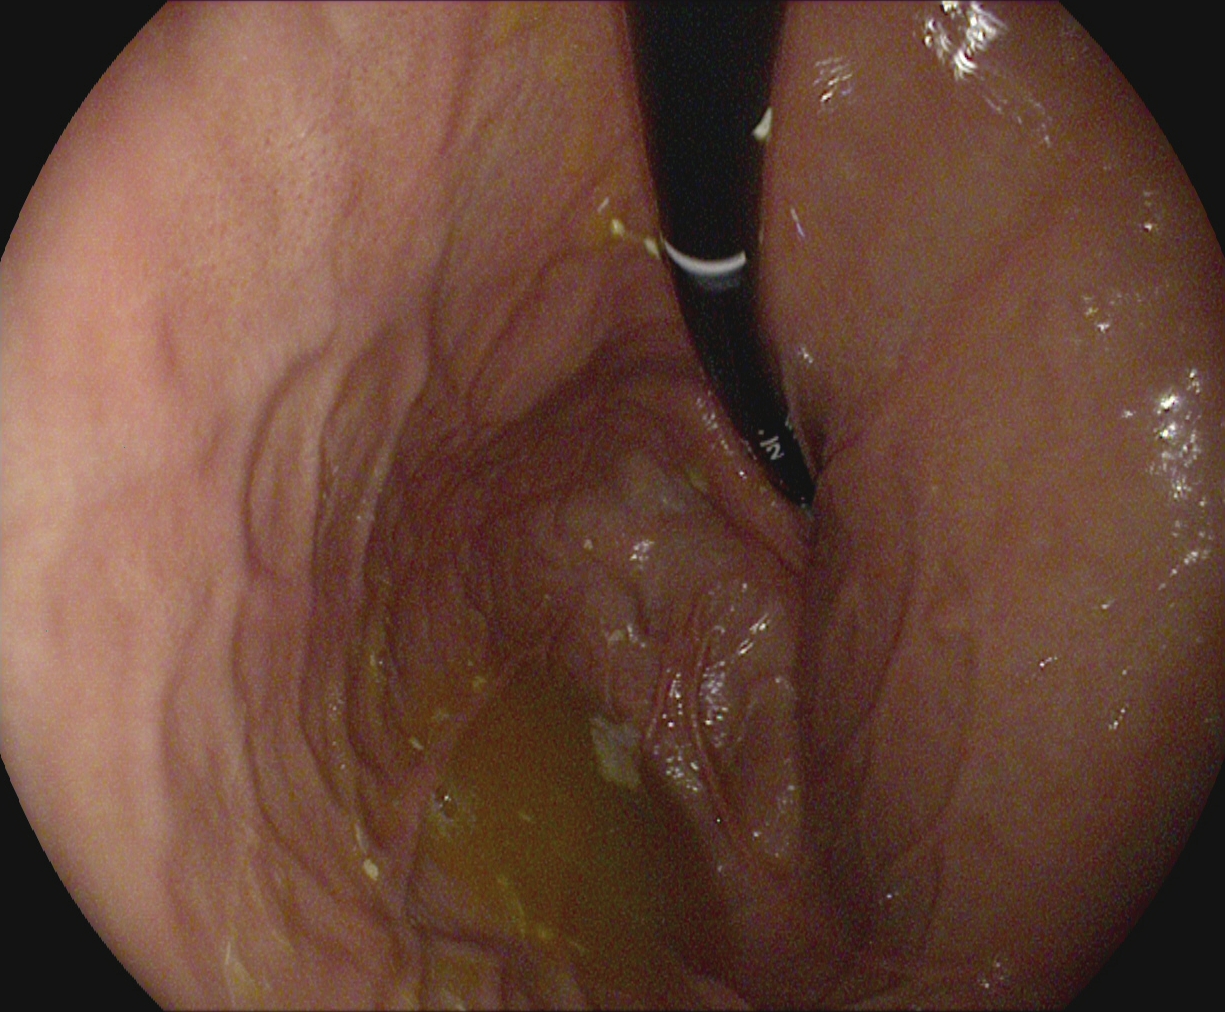modality: upper-GI endoscopy
finding: stomach in retroflexion